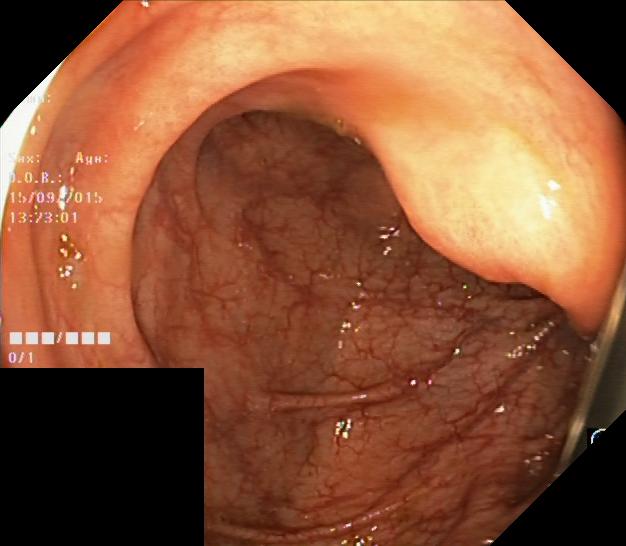Colonoscopy — colorectal polyp(s).